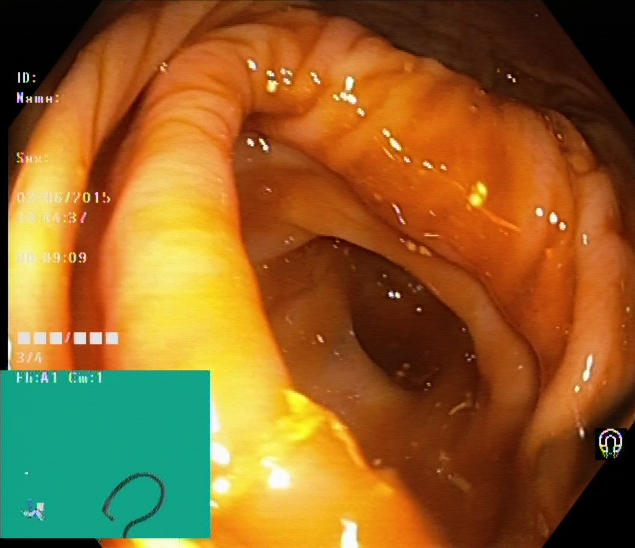Lower-GI endoscopy image of the lower GI tract showing cecum.